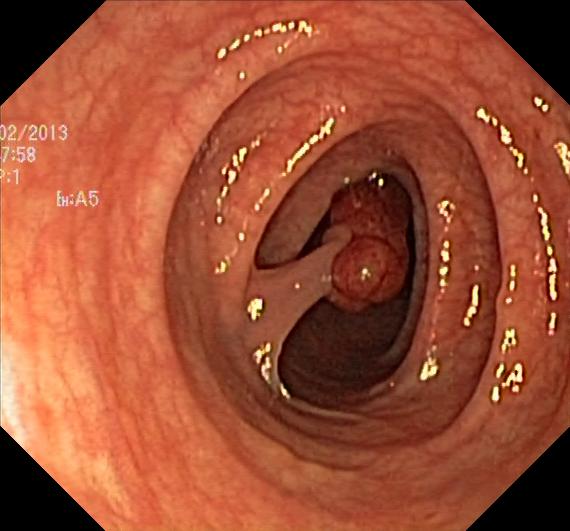Colorectal polyp(s).